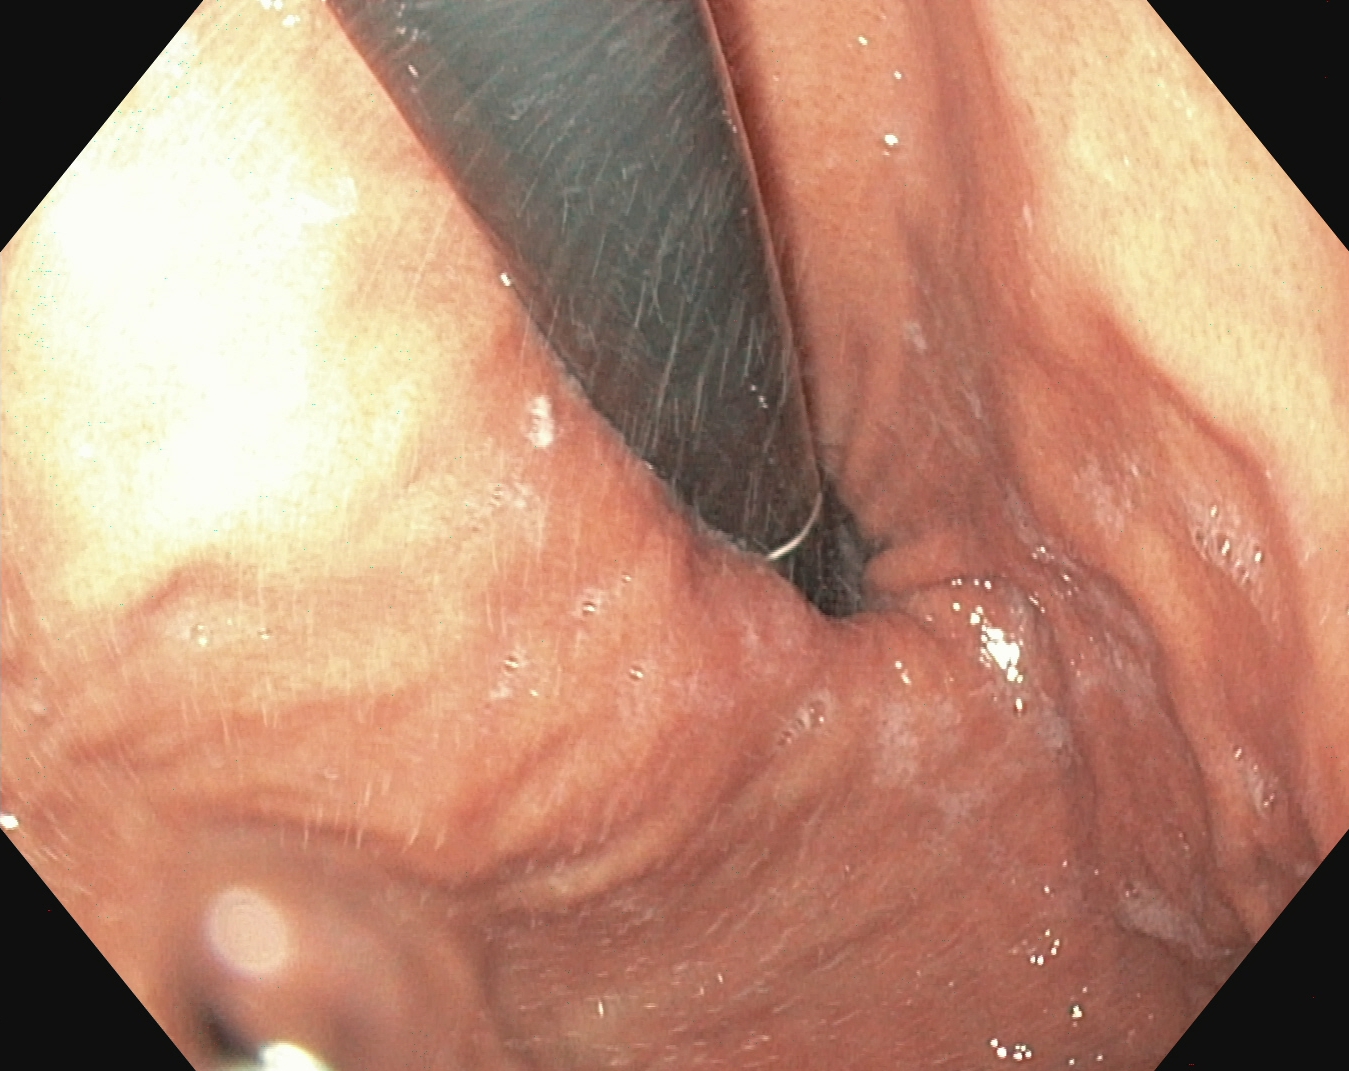Esophagogastroduodenoscopy — stomach in retroflexion.